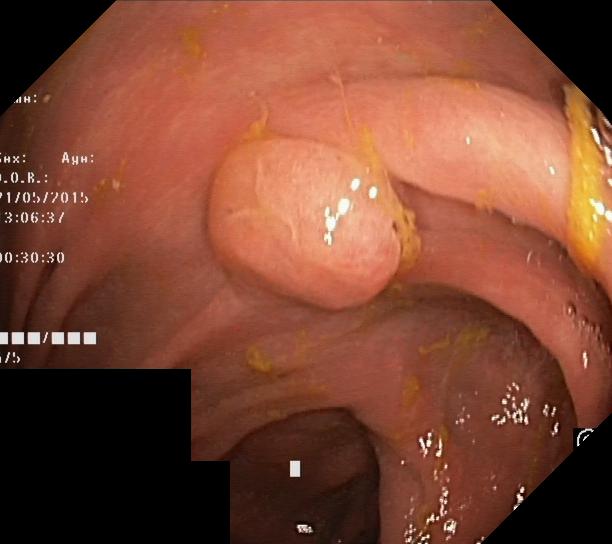This endoscopic image of the lower GI tract shows colorectal polyp(s).